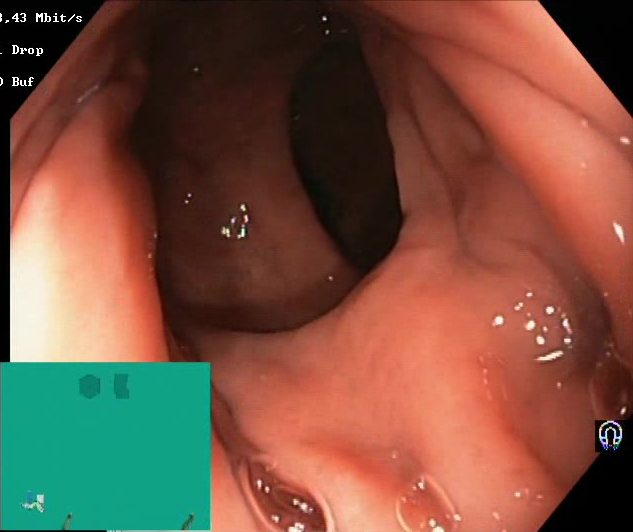PROCEDURE: Colonoscopy.
FINDINGS: Boston Bowel Preparation Scale score 2–3 (adequate preparation).